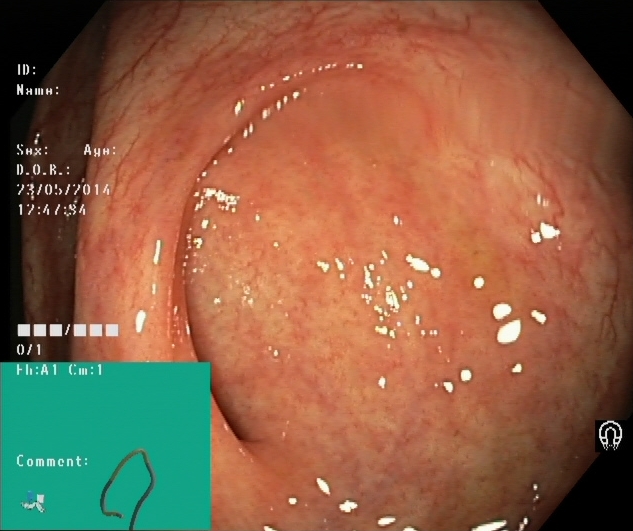Lower gastrointestinal endoscopy image showing cecum.